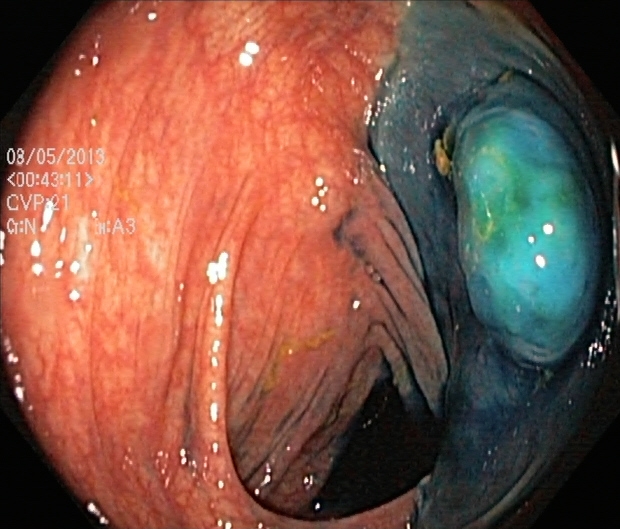{"modality": "colonoscopy", "tract": "lower GI tract", "finding": "dyed and lifted polyp (pre-resection)"}